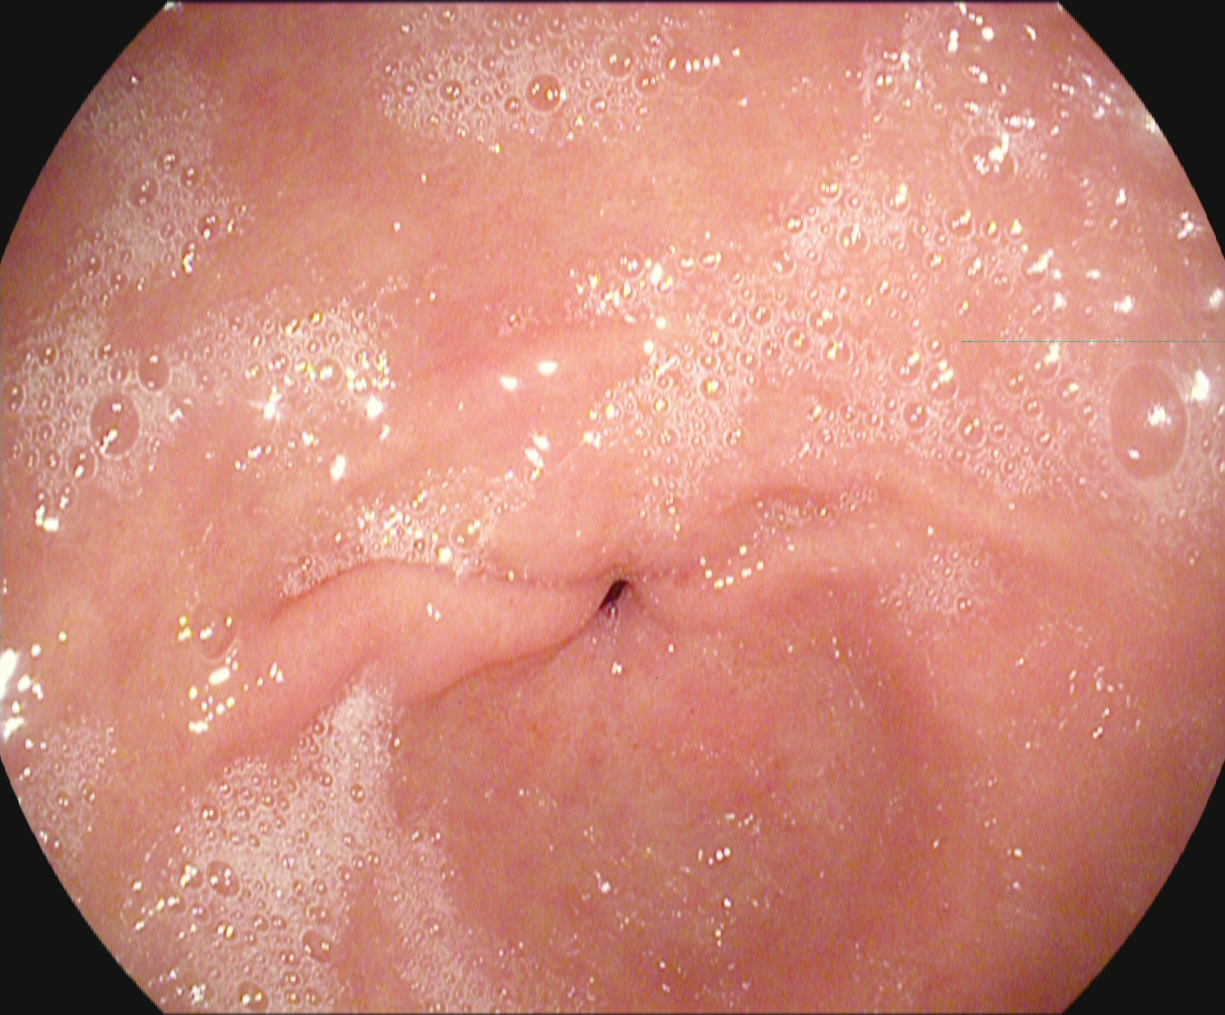modality: EGD
tract: upper GI tract
category: anatomical landmark
finding: pylorus